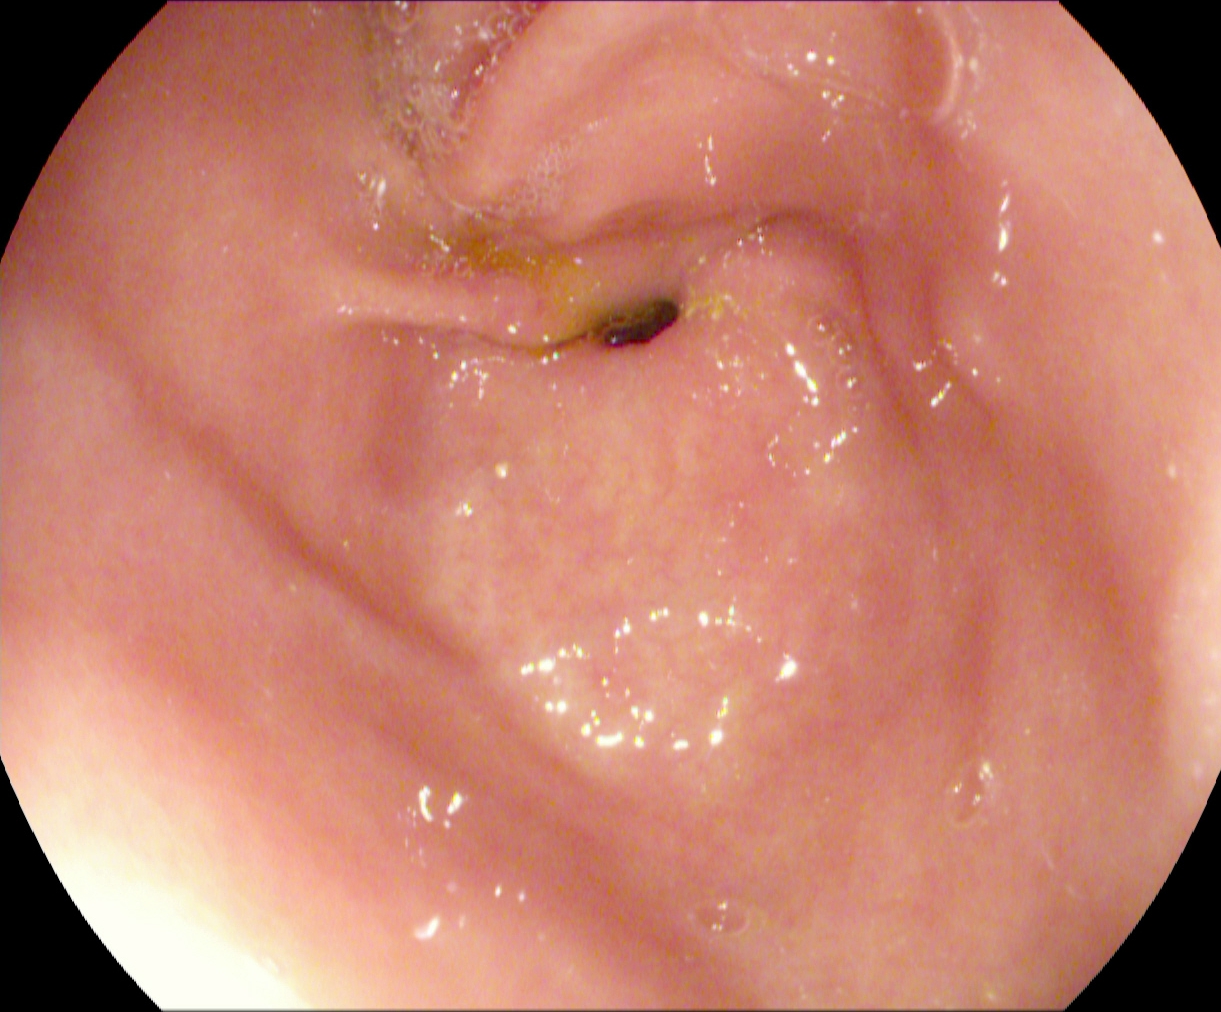{"modality": "EGD", "tract": "upper GI tract", "finding": "pylorus"}